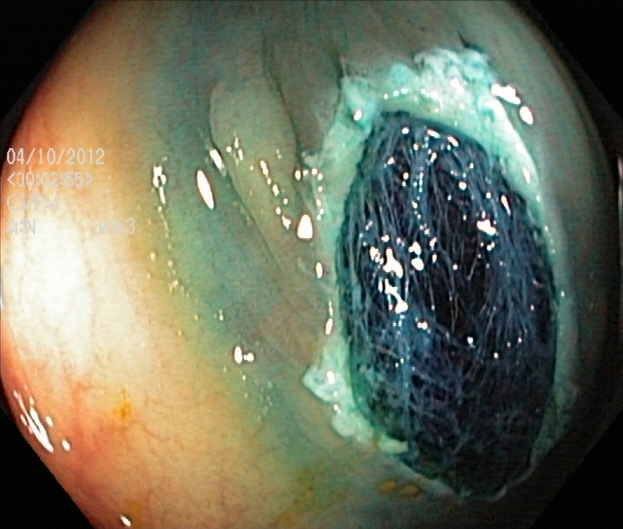Endoscopy image showing dyed resection margins (post-polypectomy).